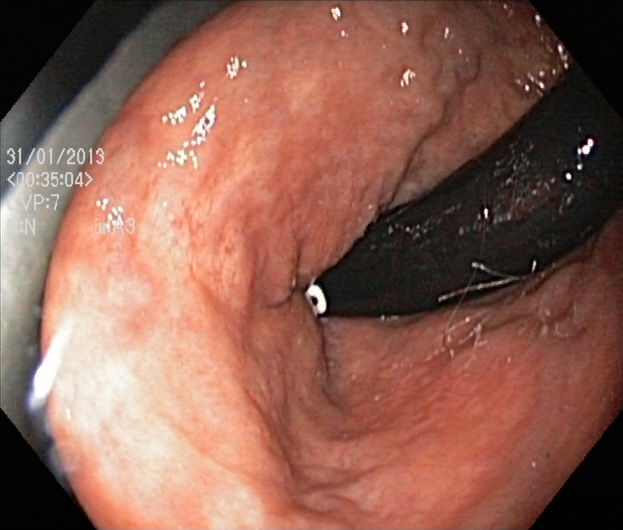This endoscopy frame shows rectum in retroflexion.